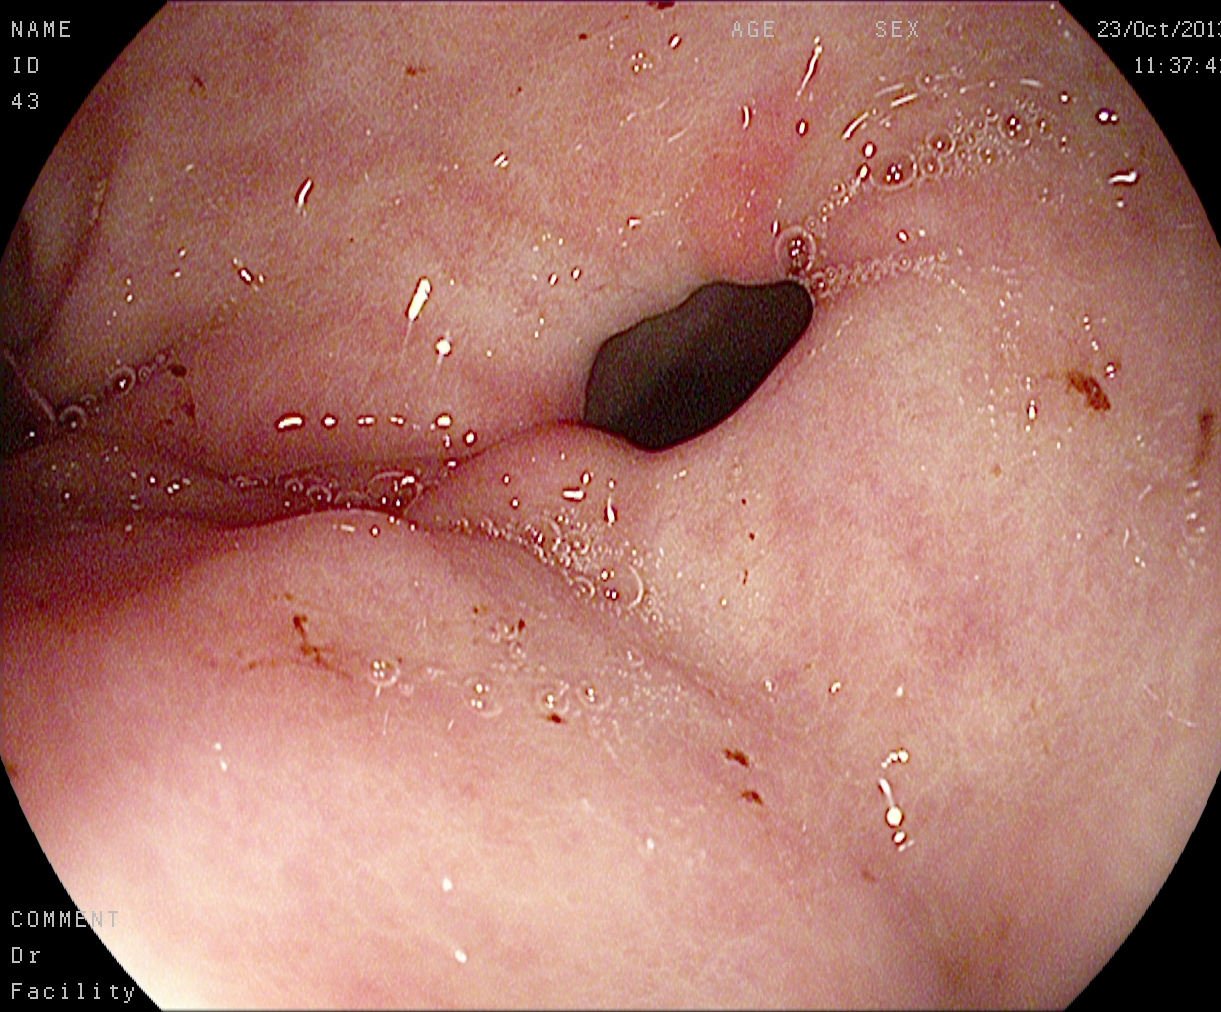Endoscopic image of the upper GI tract showing pylorus.